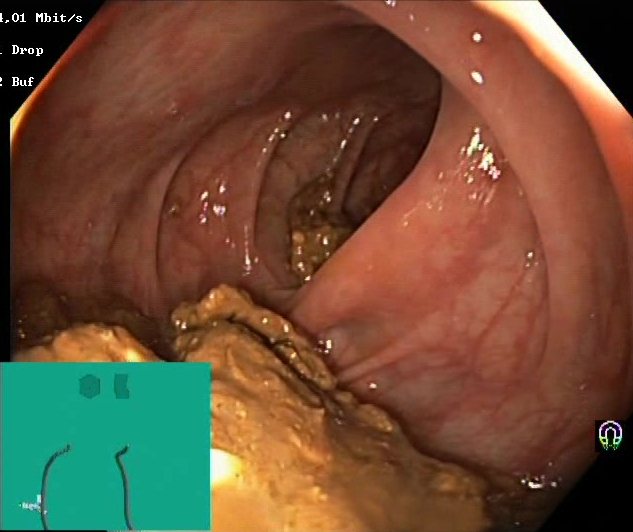Colonoscopy. Mucosal-view quality. Finding: Boston Bowel Preparation Scale score 0–1 (inadequate preparation).